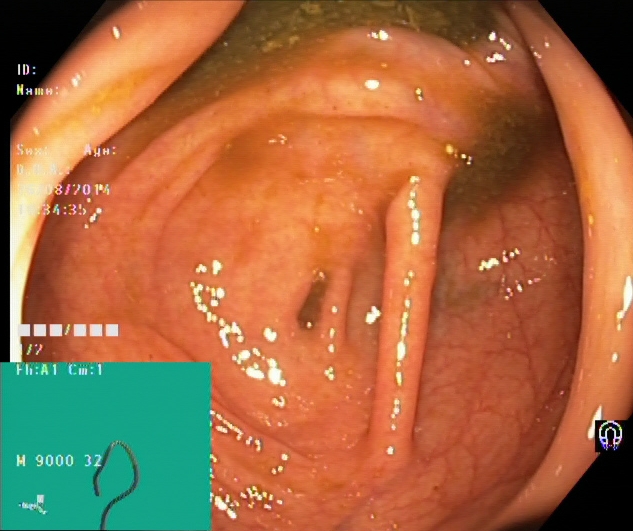Cecum.